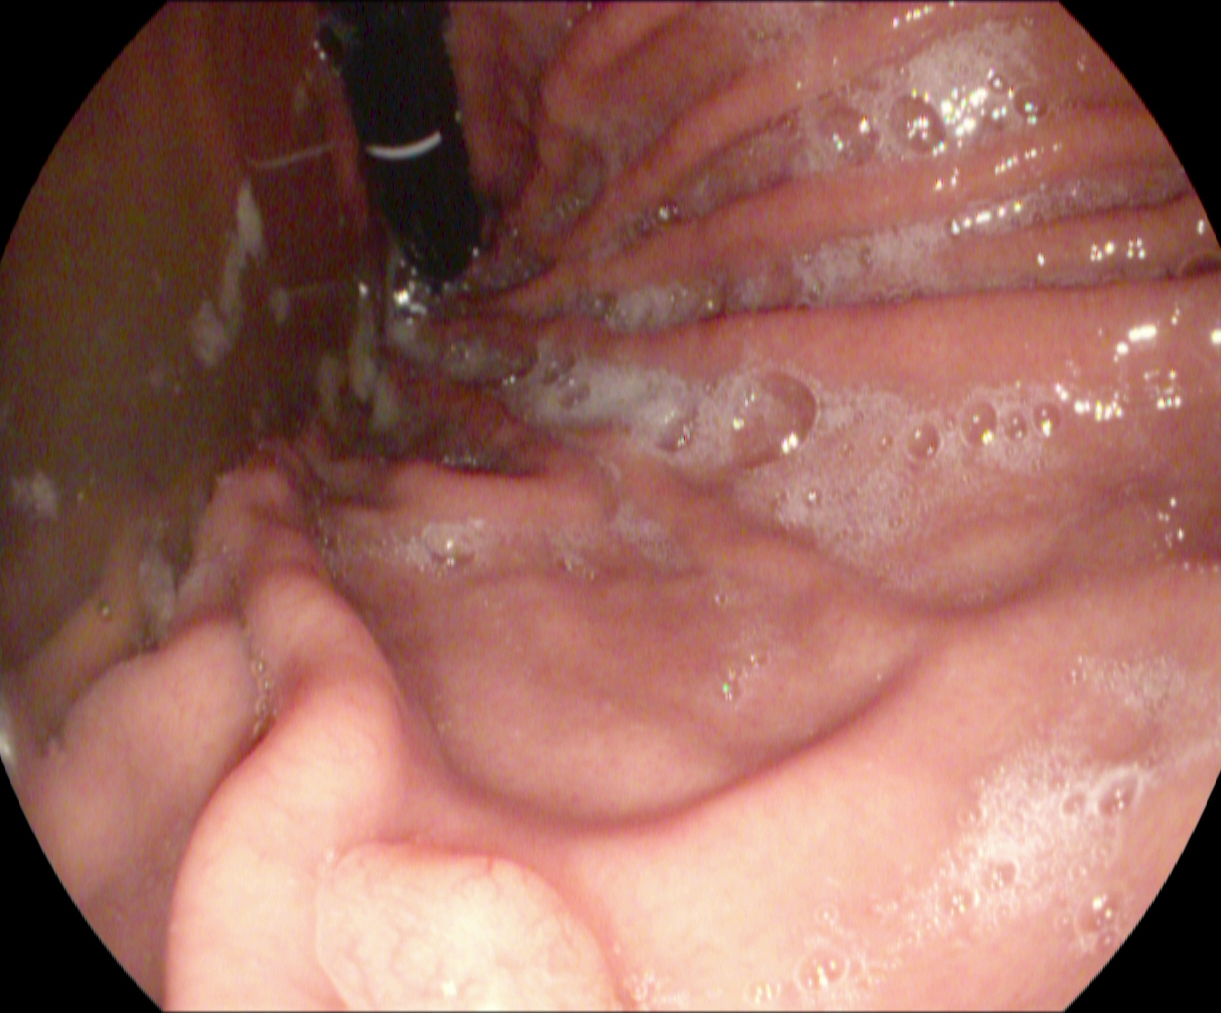PROCEDURE: EGD.
FINDINGS: Stomach in retroflexion.